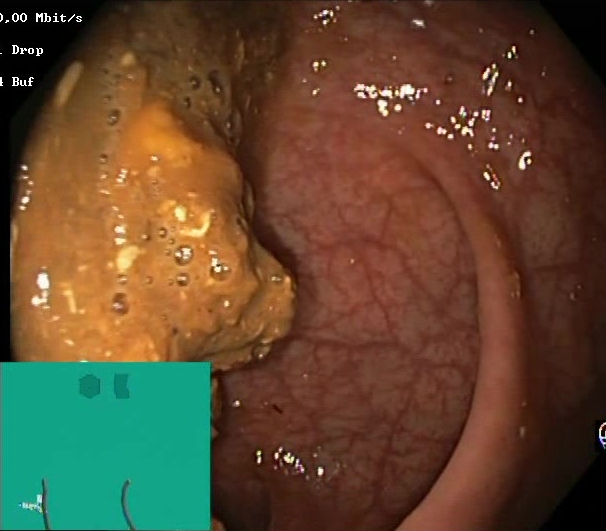Boston Bowel Preparation Scale score 0–1 (inadequate preparation).